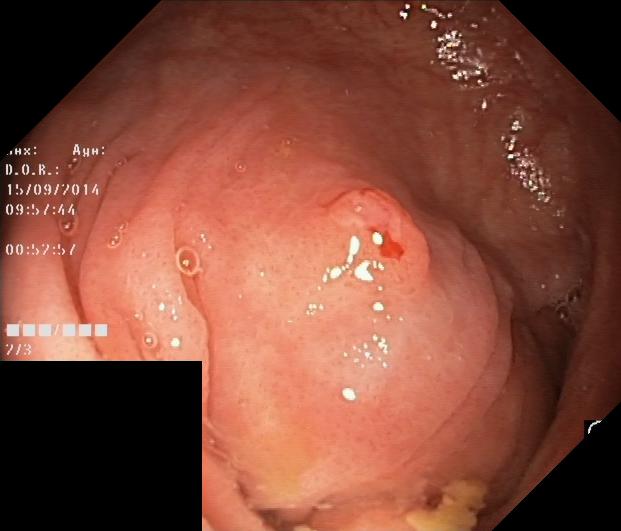Lower-GI endoscopy. Finding: colorectal polyp(s).